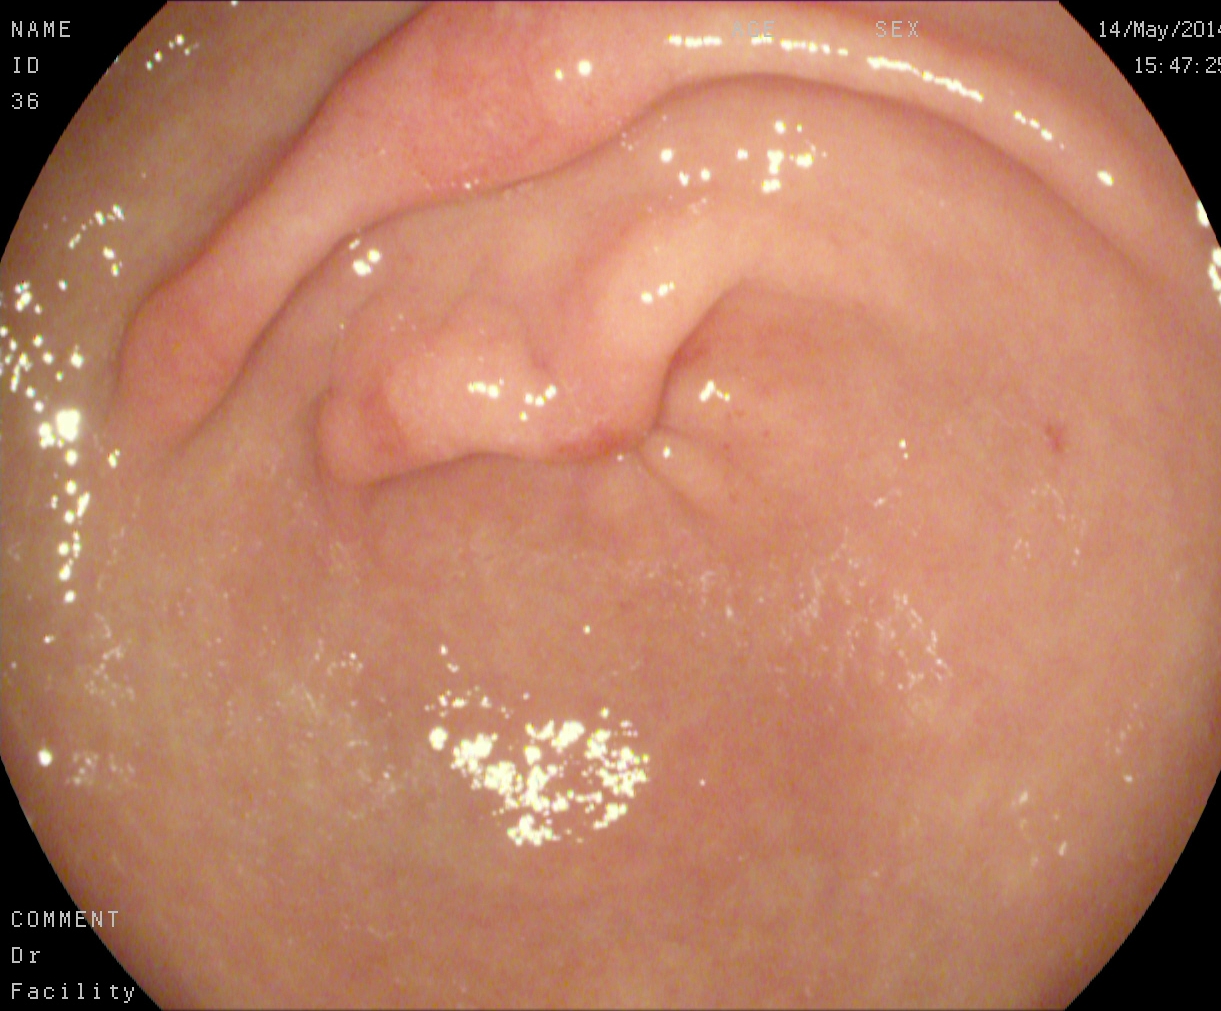modality: gastroscopy | category: anatomical landmark | finding: pylorus